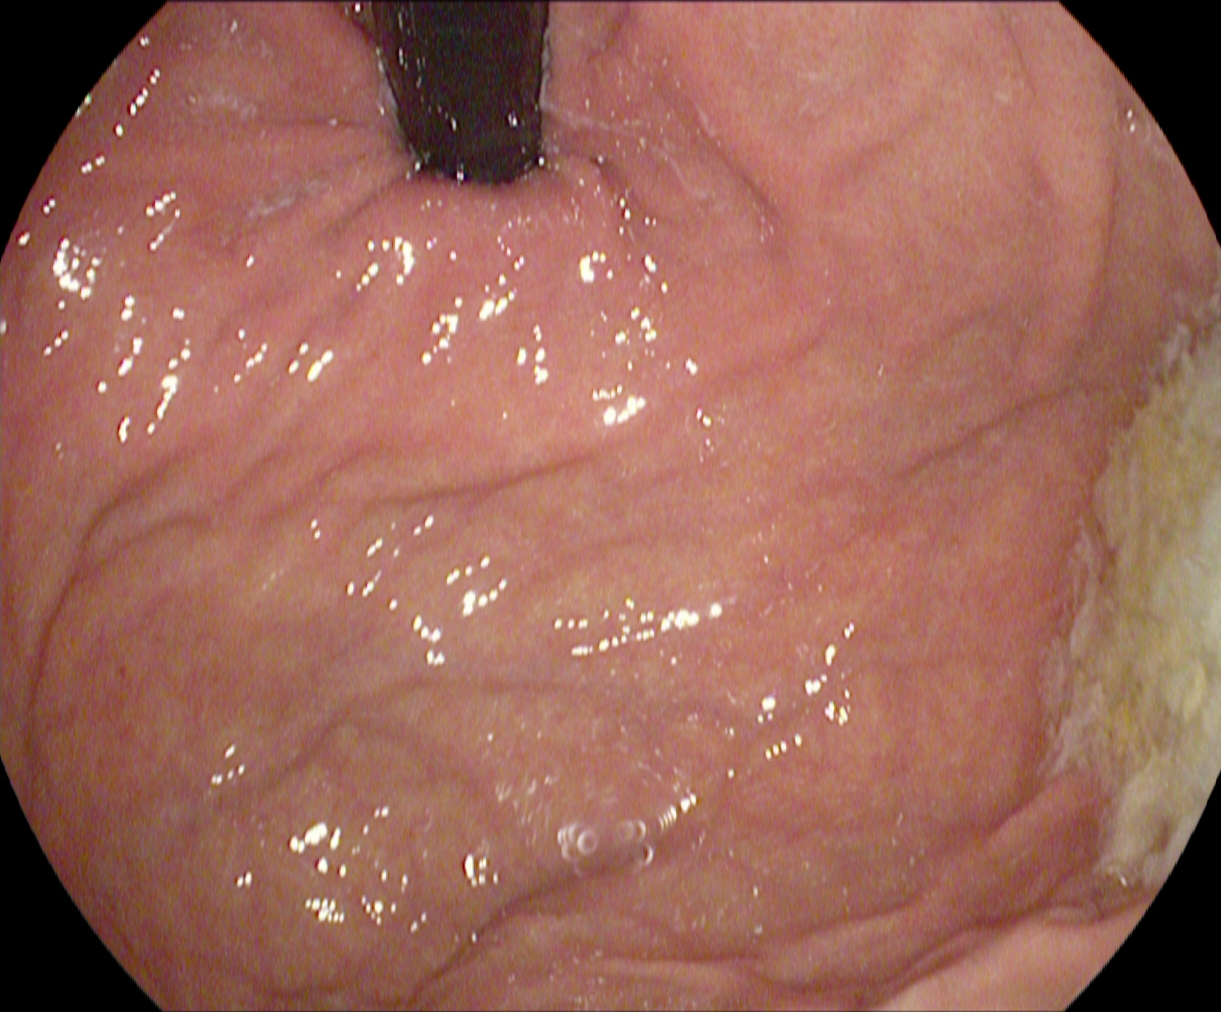{"modality": "gastroscopy", "tract": "upper GI tract", "category": "anatomical landmark", "finding": "stomach in retroflexion"}